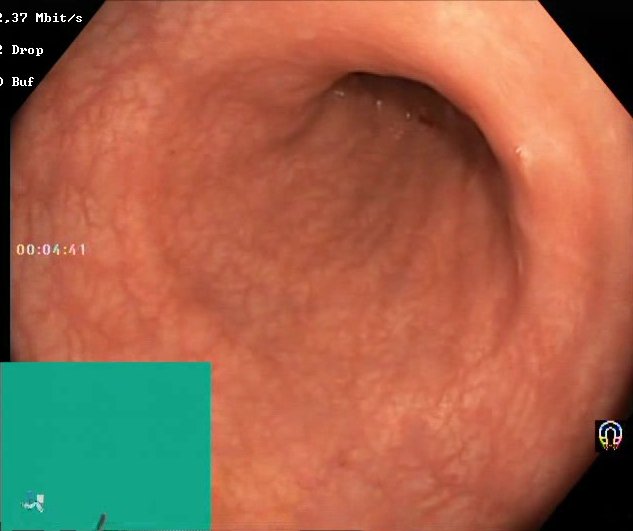This endoscopy frame of the lower GI tract shows Boston Bowel Preparation Scale score 2–3 (adequate preparation).